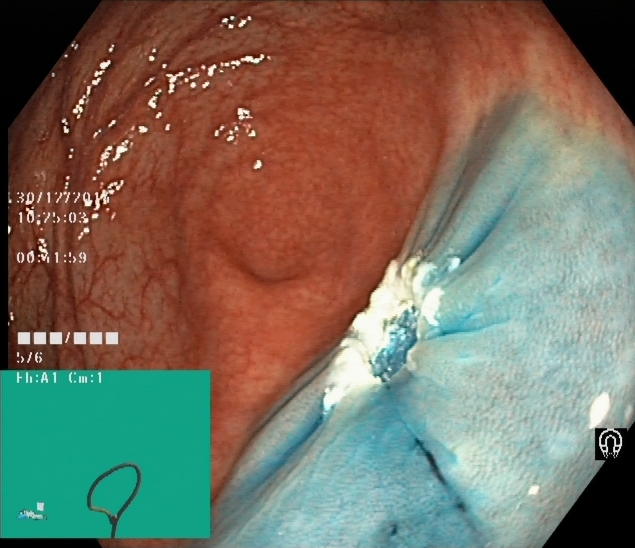Dyed resection margins (post-polypectomy).